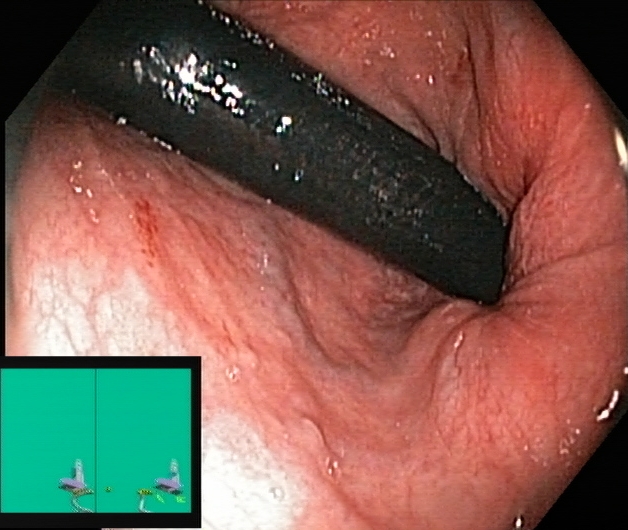This endoscopic image of the lower GI tract shows rectum in retroflexion.